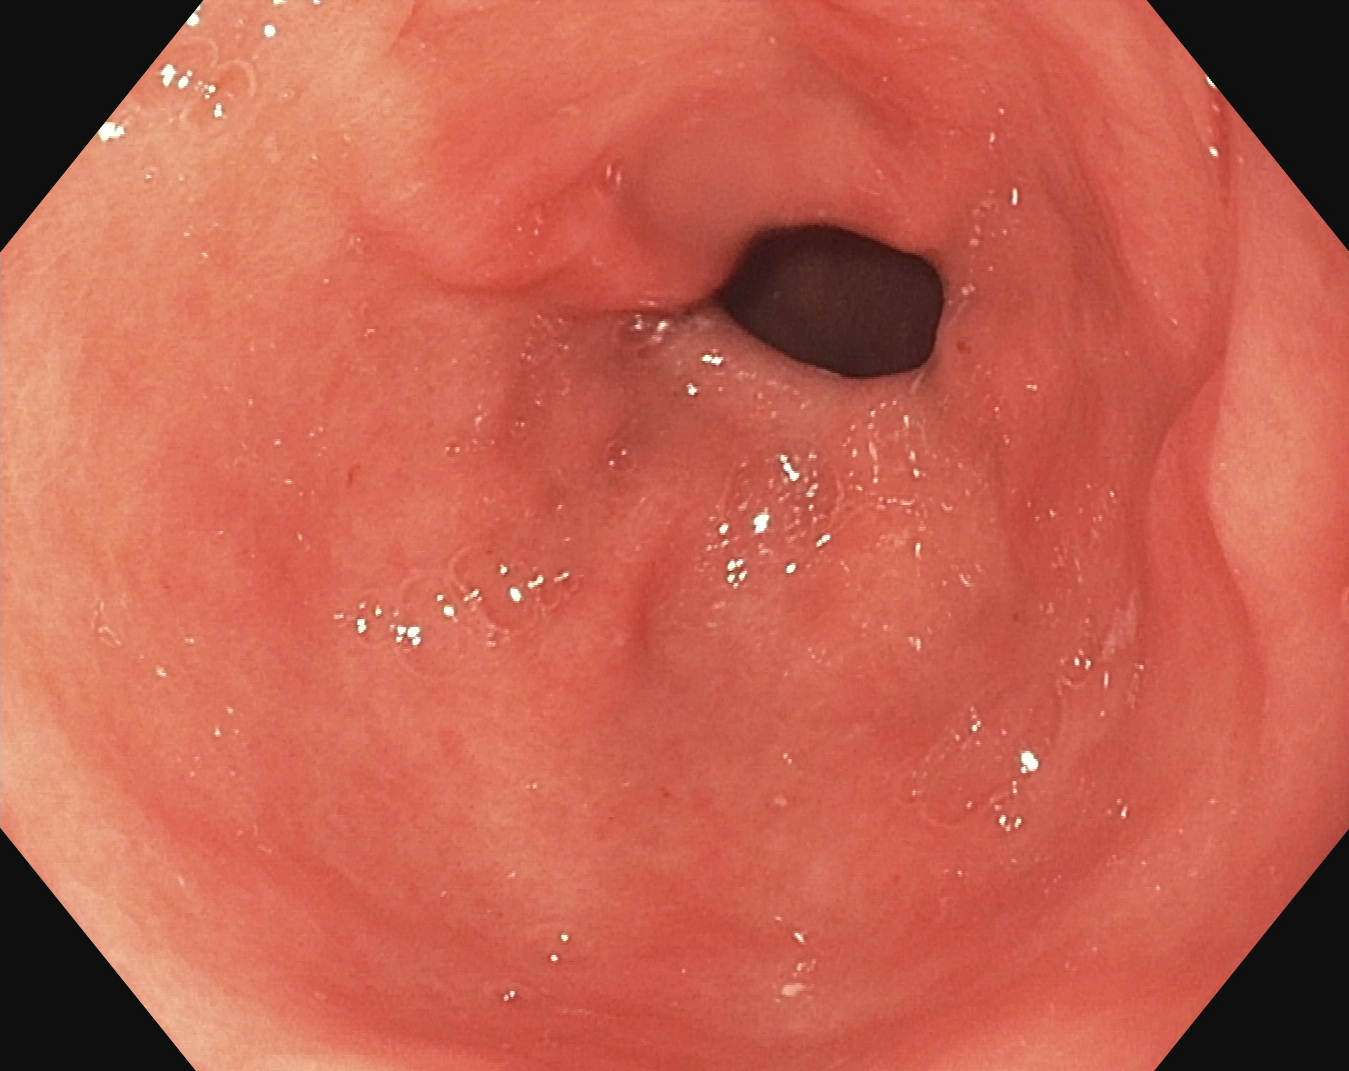Esophagogastroduodenoscopy image of the upper GI tract showing pylorus.